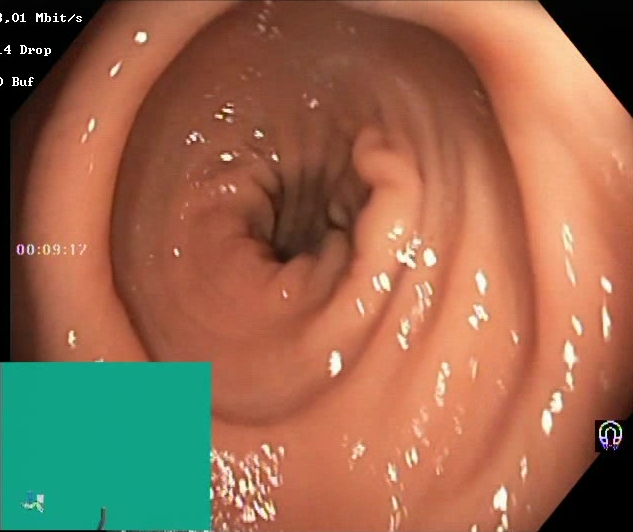PROCEDURE: Lower gastrointestinal endoscopy.
FINDINGS: BBPS score 2–3 (adequate preparation).